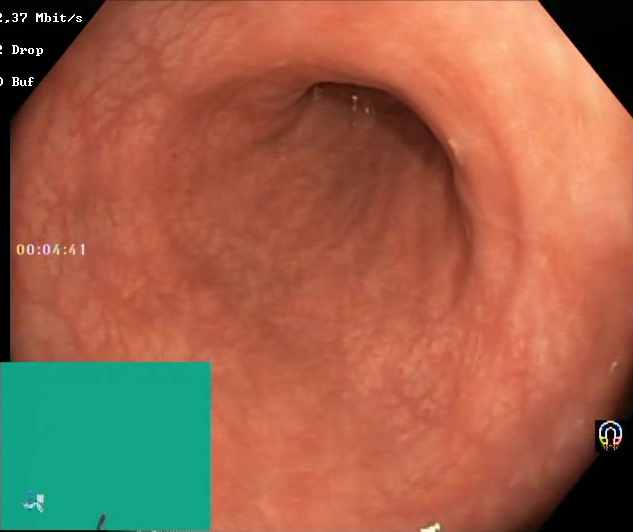Lower gastrointestinal endoscopy image of the lower GI tract showing BBPS score 2–3 (adequate preparation).